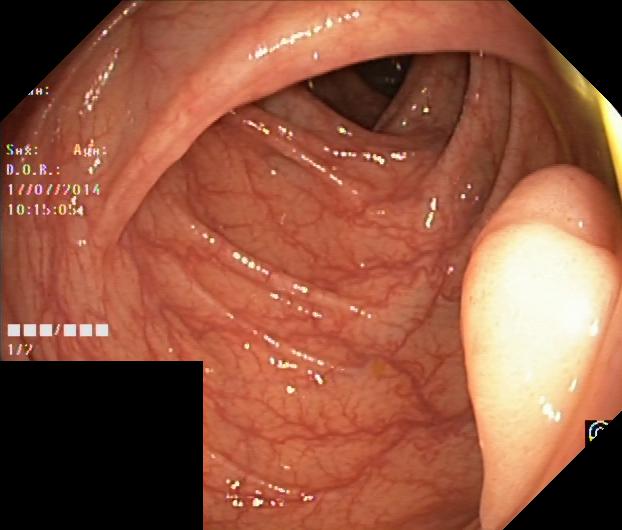PROCEDURE: Lower-GI endoscopy.
FINDINGS: Colorectal polyp(s).